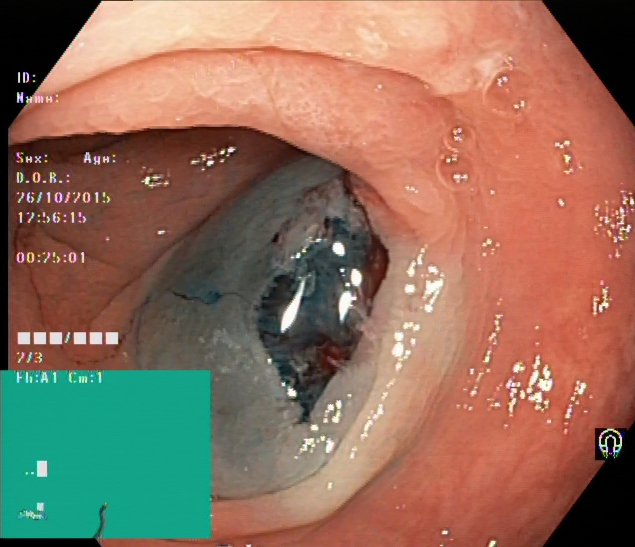Endoscopic image showing dyed resection margins (post-polypectomy).